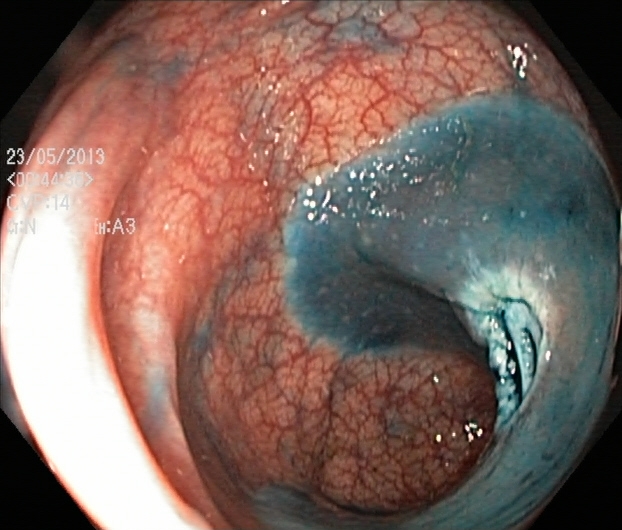Dyed resection margins (post-polypectomy).